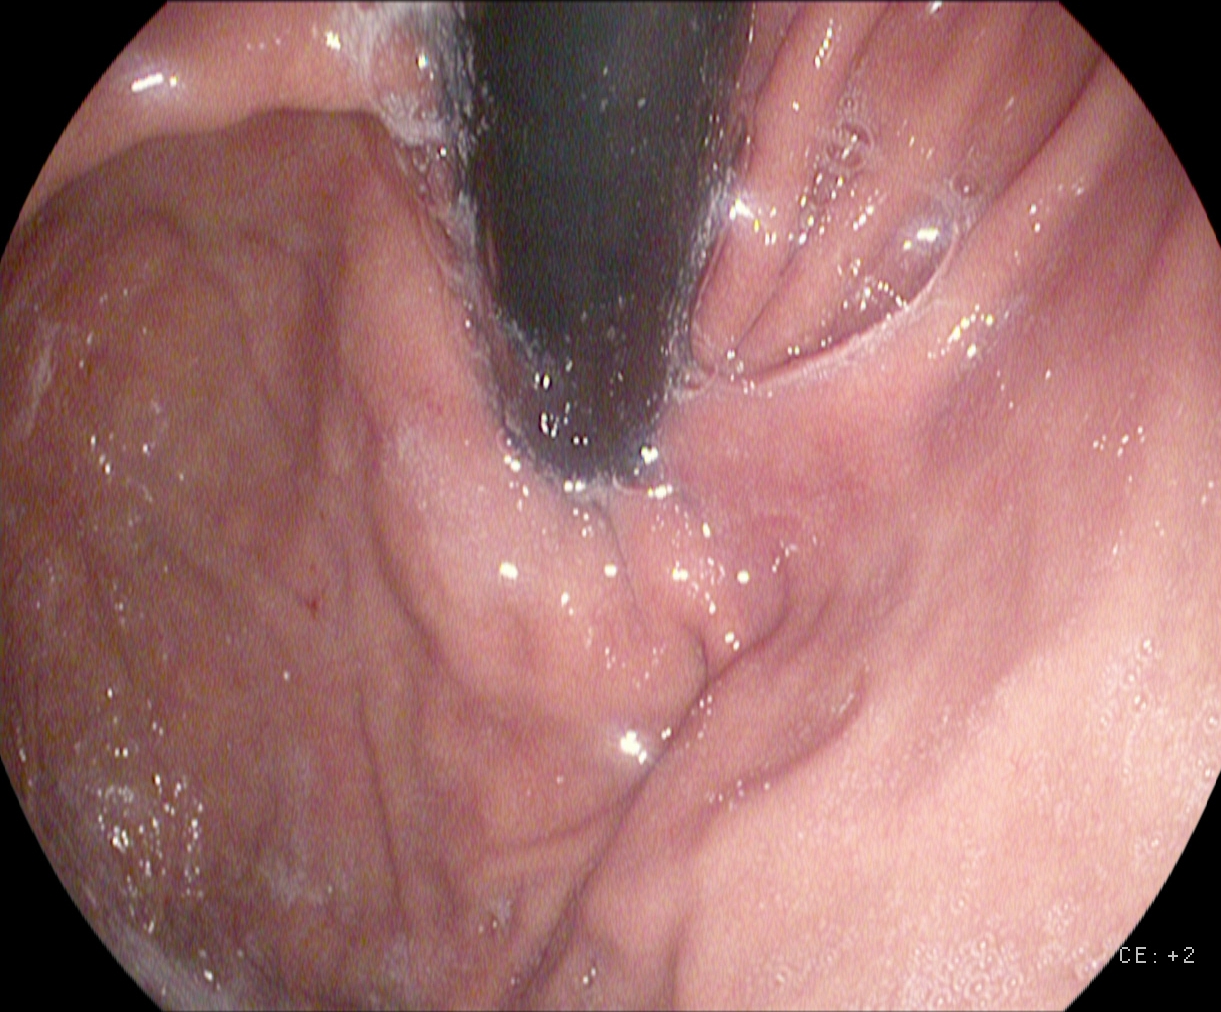Stomach in retroflexion.